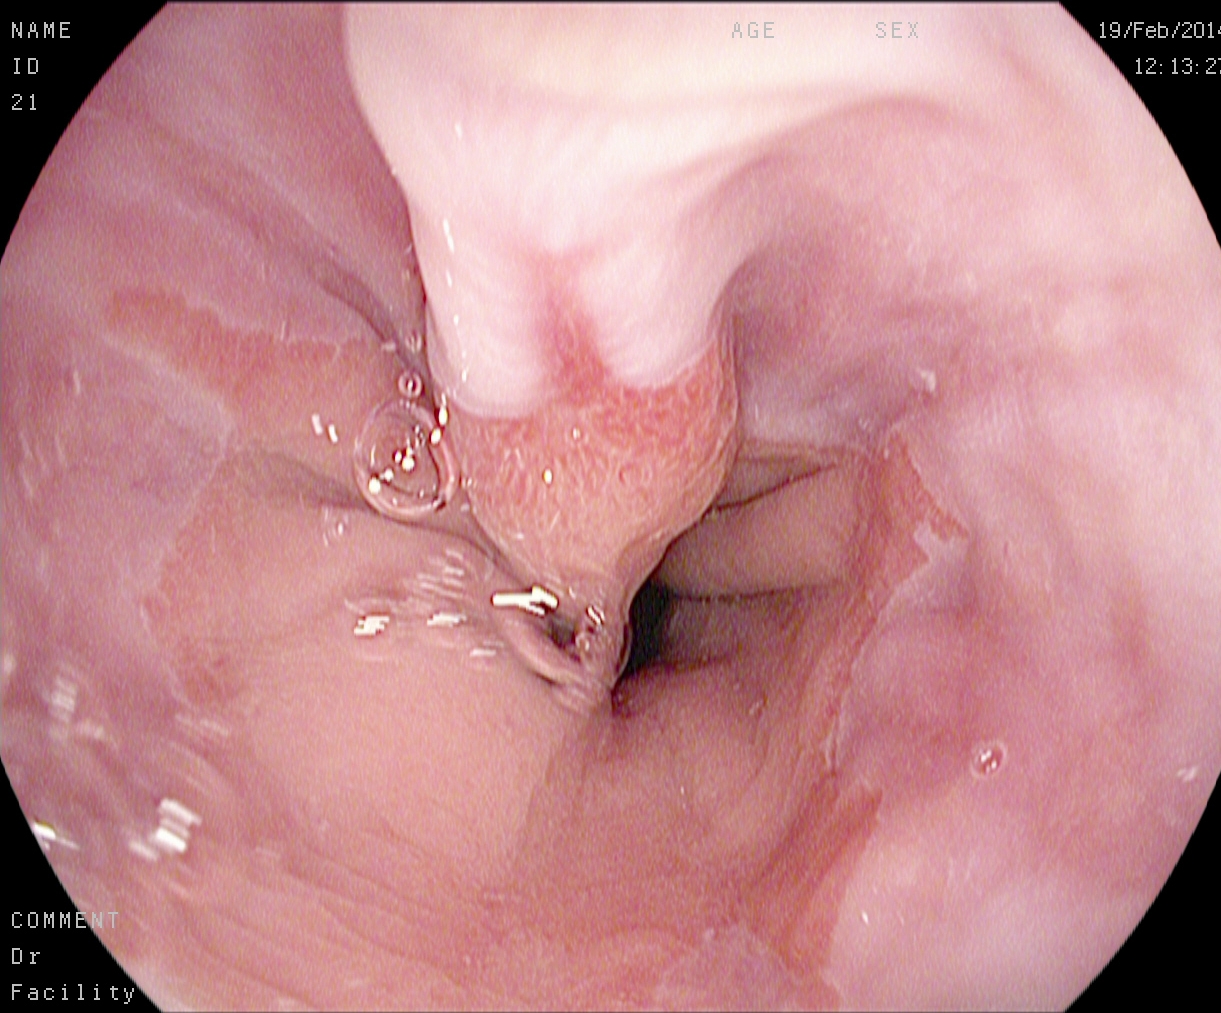This endoscopy frame of the upper GI tract shows reflux esophagitis, Los Angeles grade A.